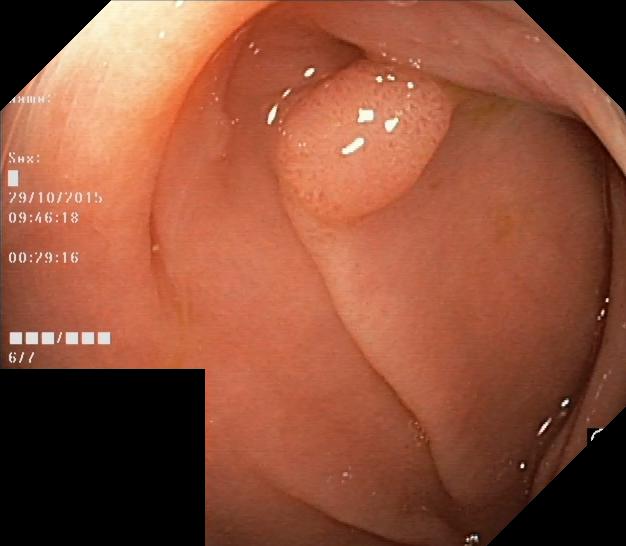Colonoscopy — colorectal polyp(s).